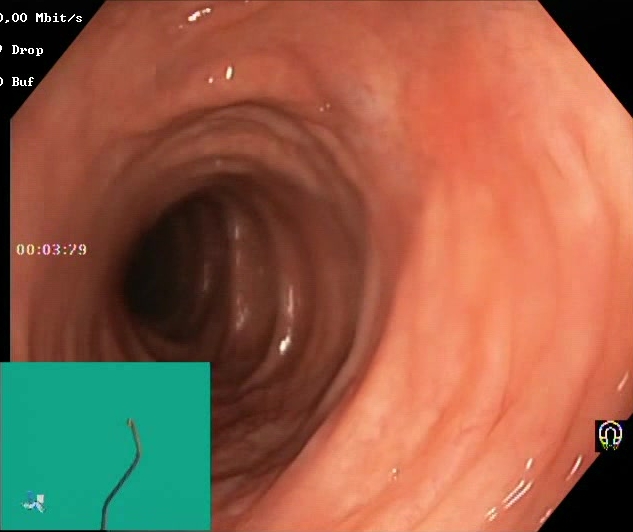This endoscopic image shows Boston Bowel Preparation Scale score 2–3 (adequate preparation).